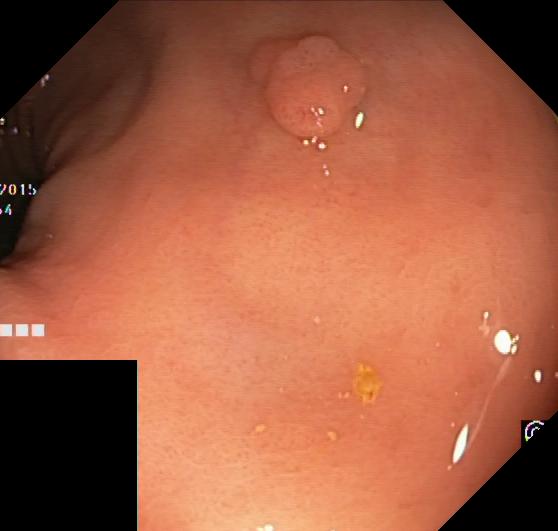PROCEDURE: Lower-GI endoscopy.
FINDINGS: Colorectal polyp(s).